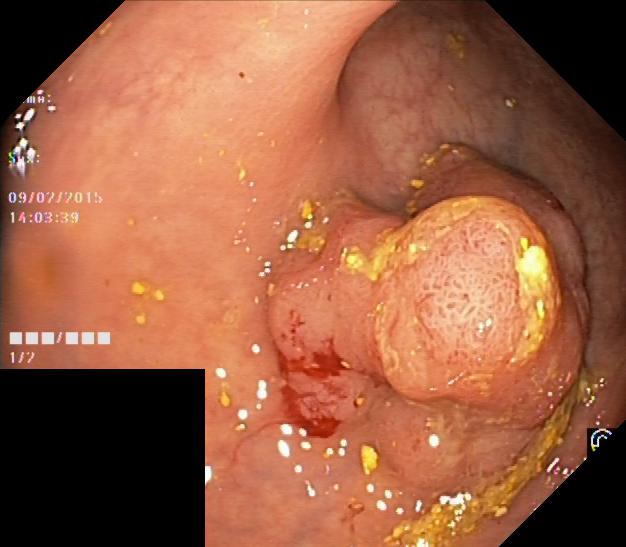PROCEDURE: Colonoscopy.
CATEGORY: Pathological finding.
FINDINGS: Colorectal polyp(s).